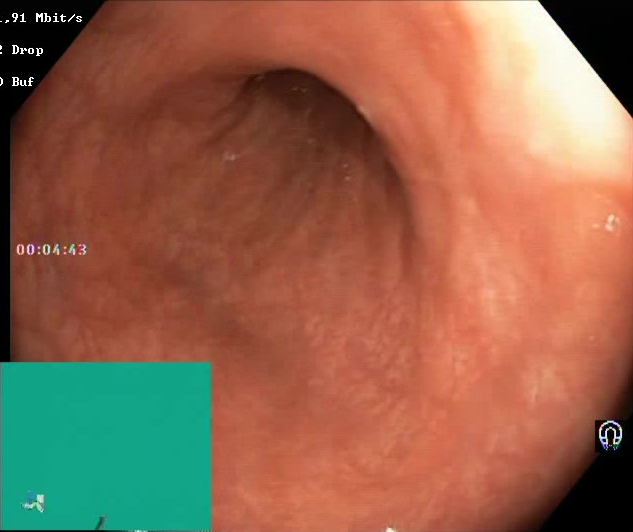Colonoscopy — BBPS score 2–3 (adequate preparation).